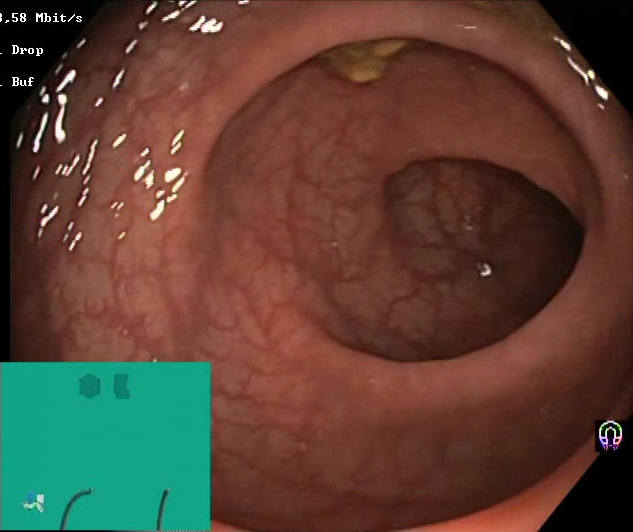BBPS score 2–3 (adequate preparation).